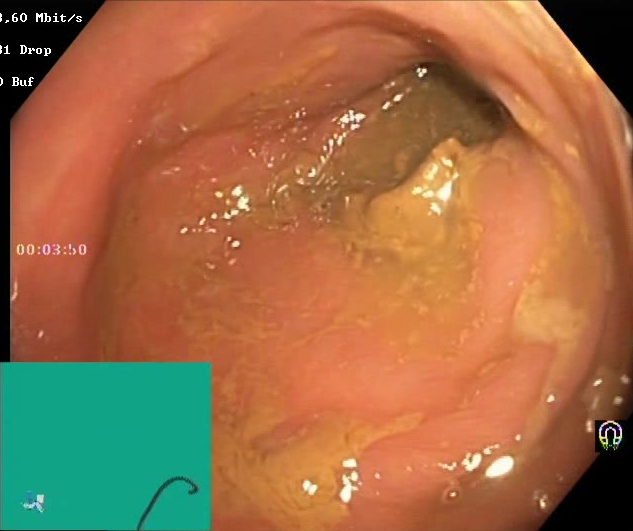Lower gastrointestinal endoscopy image showing Boston Bowel Preparation Scale score 0–1 (inadequate preparation).